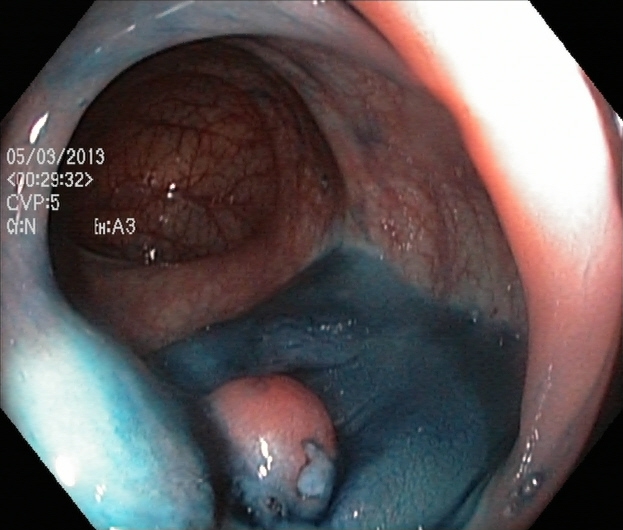{"modality": "lower gastrointestinal endoscopy", "category": "therapeutic intervention", "finding": "dyed and lifted polyp (pre-resection)"}